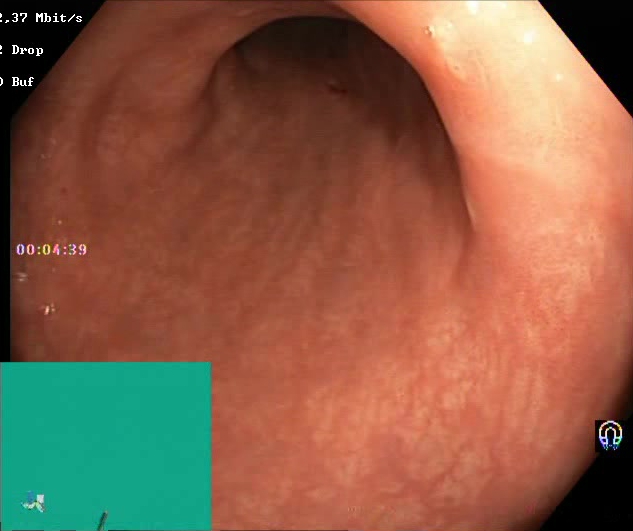BBPS score 2–3 (adequate preparation).